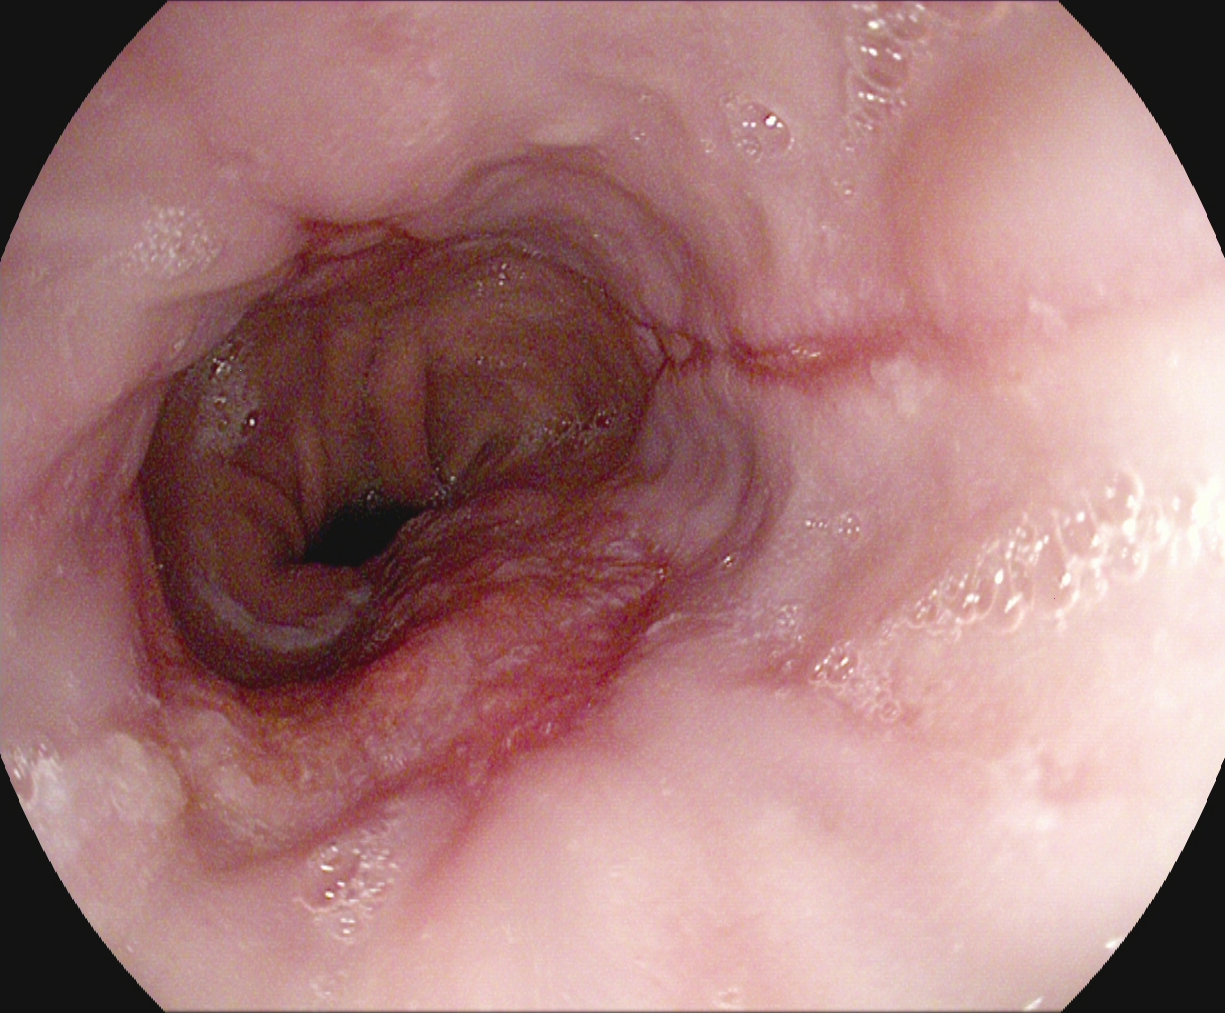Upper-GI endoscopy — reflux esophagitis, LA grade B–D.